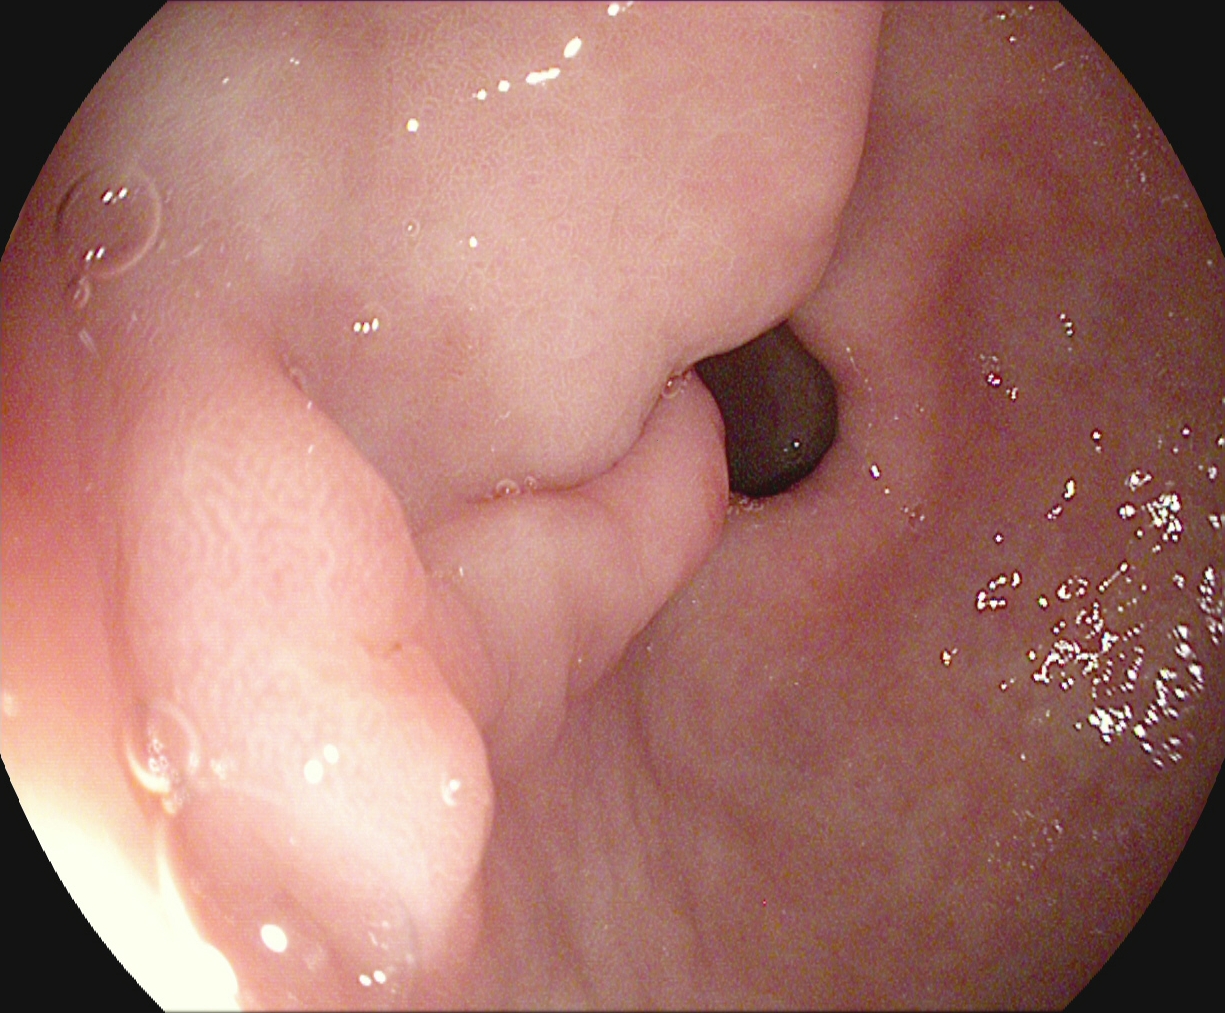PROCEDURE: EGD.
CATEGORY: Anatomical landmark.
FINDINGS: Pylorus.